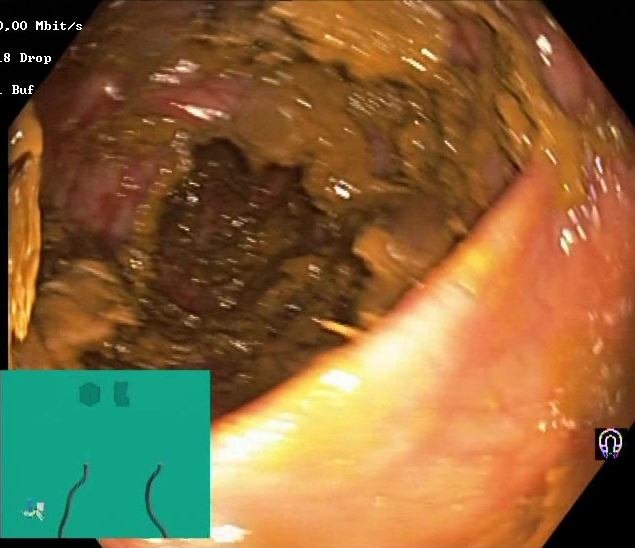modality: colonoscopy | tract: lower GI tract | finding: BBPS score 0–1 (inadequate preparation)